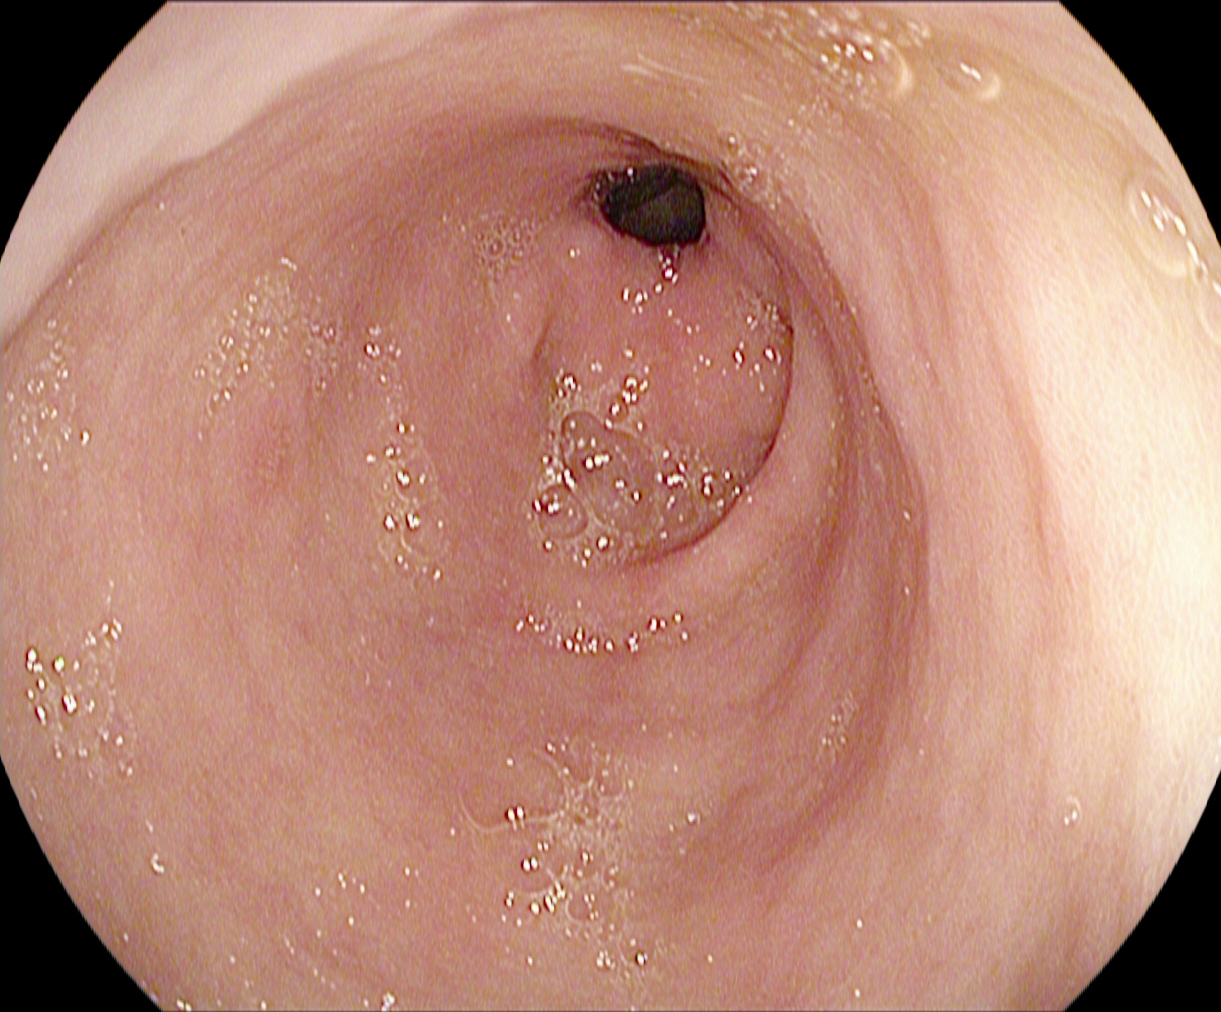PROCEDURE: Gastroscopy.
CATEGORY: Anatomical landmark.
FINDINGS: Pylorus.